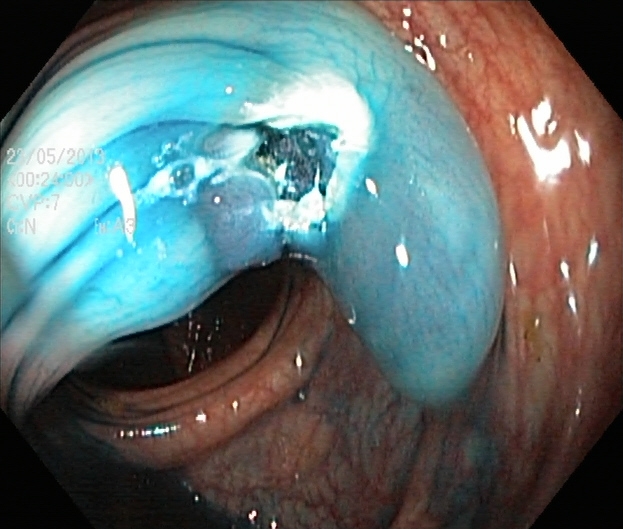Dyed resection margins (post-polypectomy).